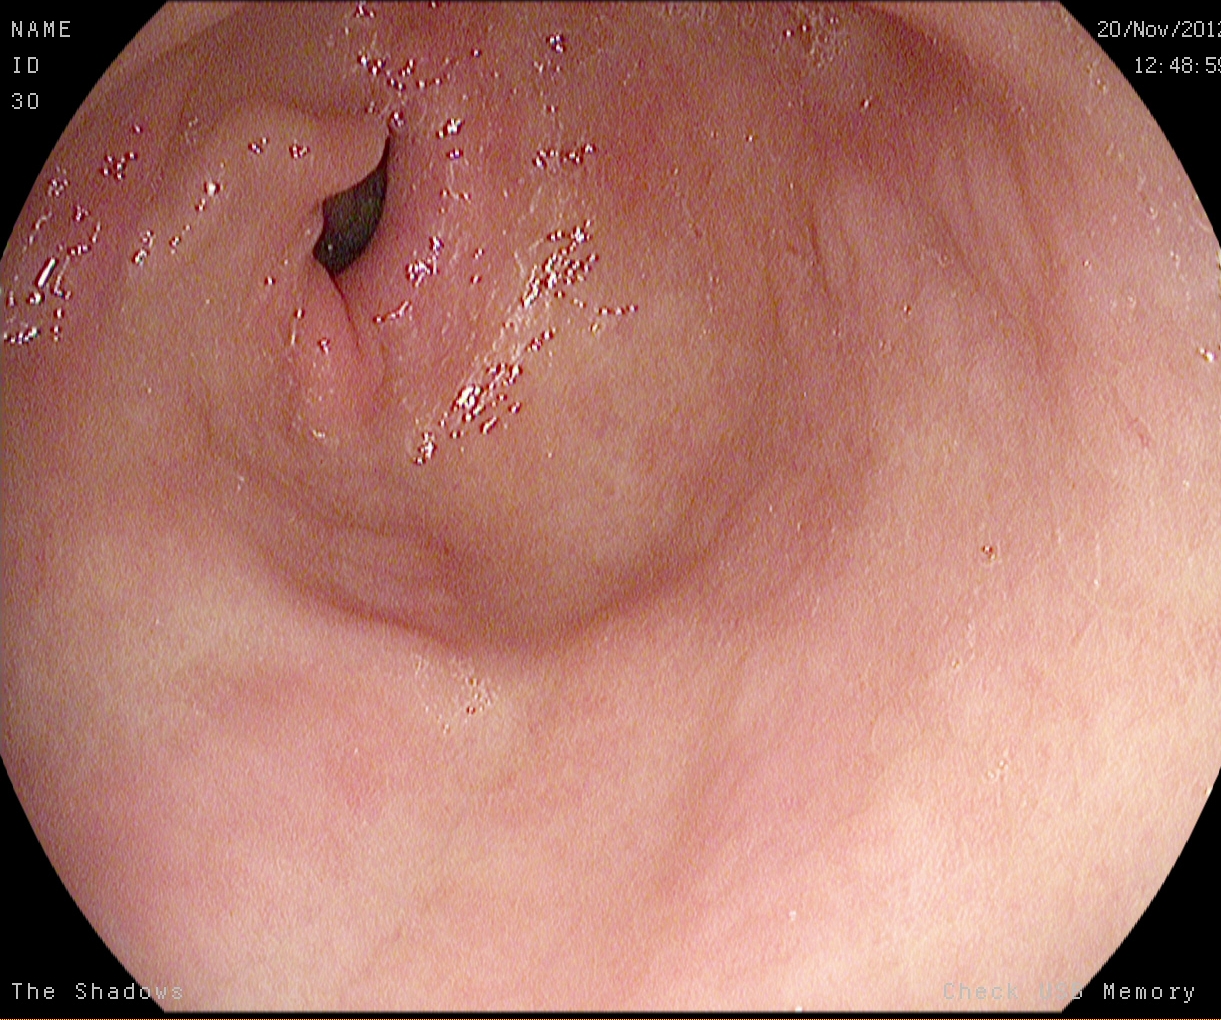Esophagogastroduodenoscopy — pylorus.